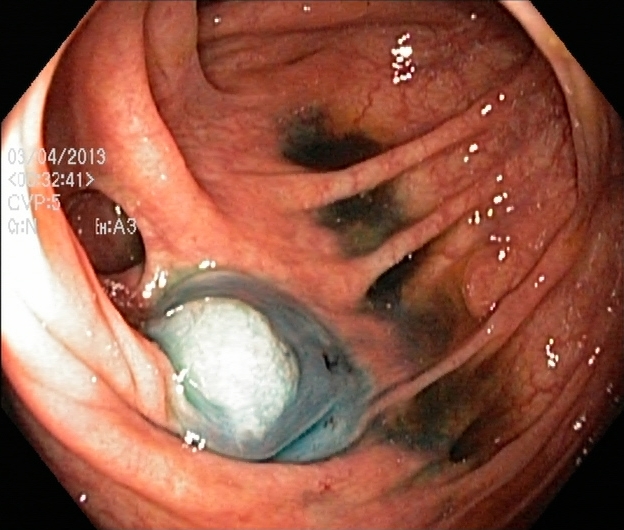modality: lower-GI endoscopy | finding: dyed and lifted polyp (pre-resection)